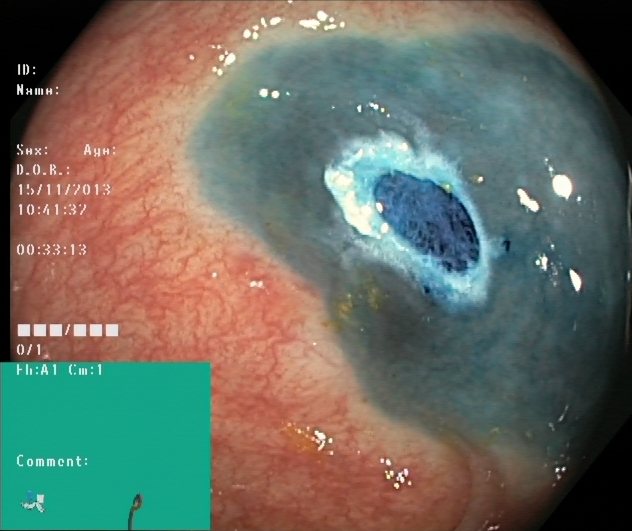PROCEDURE: Lower-GI endoscopy.
FINDINGS: Dyed resection margins (post-polypectomy).